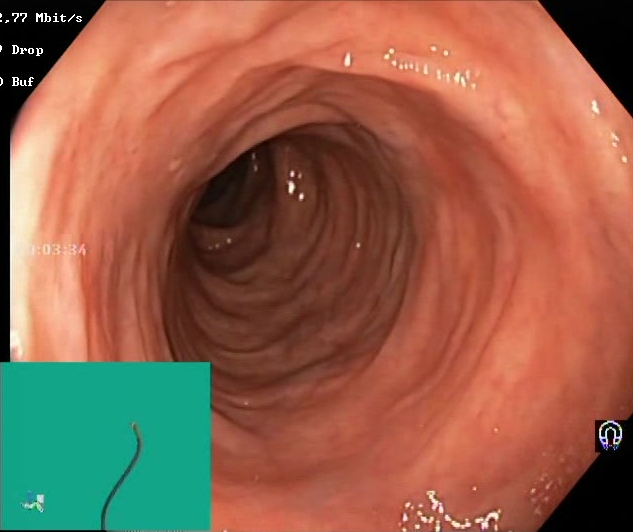PROCEDURE: Lower-GI endoscopy.
CATEGORY: Mucosal-view quality.
FINDINGS: Boston Bowel Preparation Scale score 2–3 (adequate preparation).